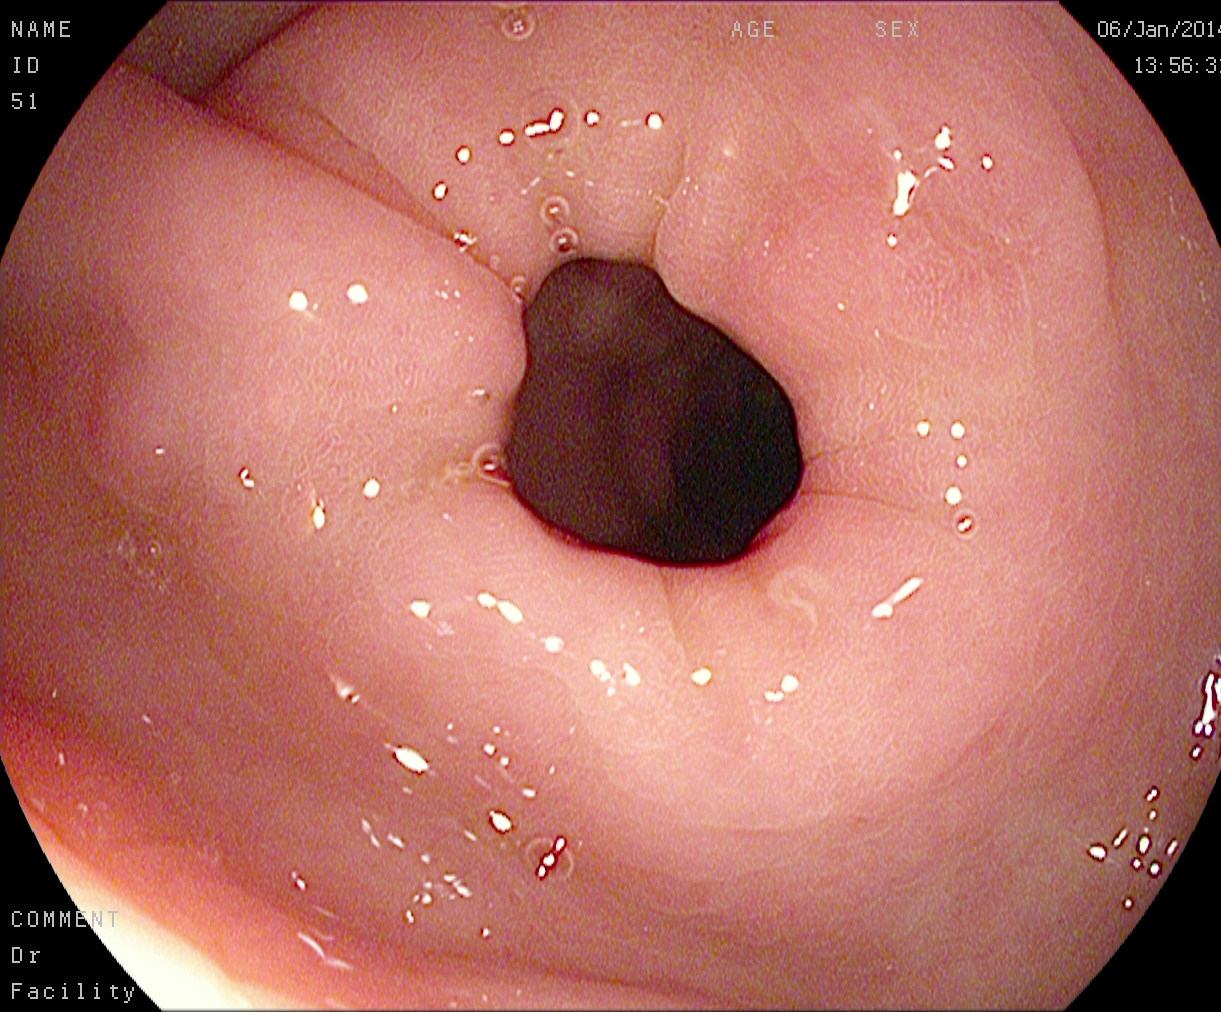EGD image showing pylorus.